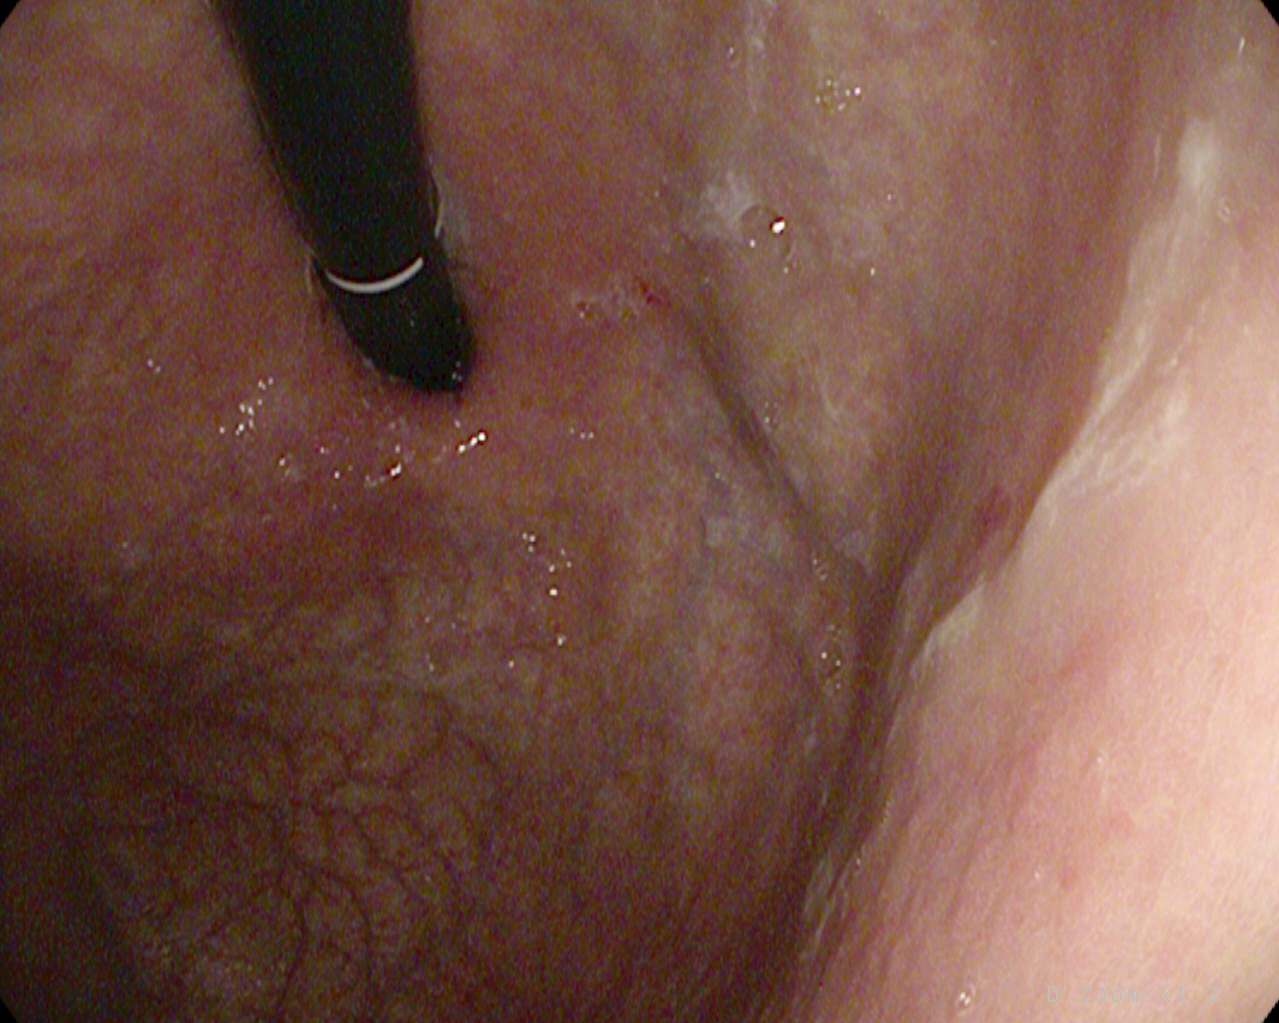EGD. Finding: stomach in retroflexion.